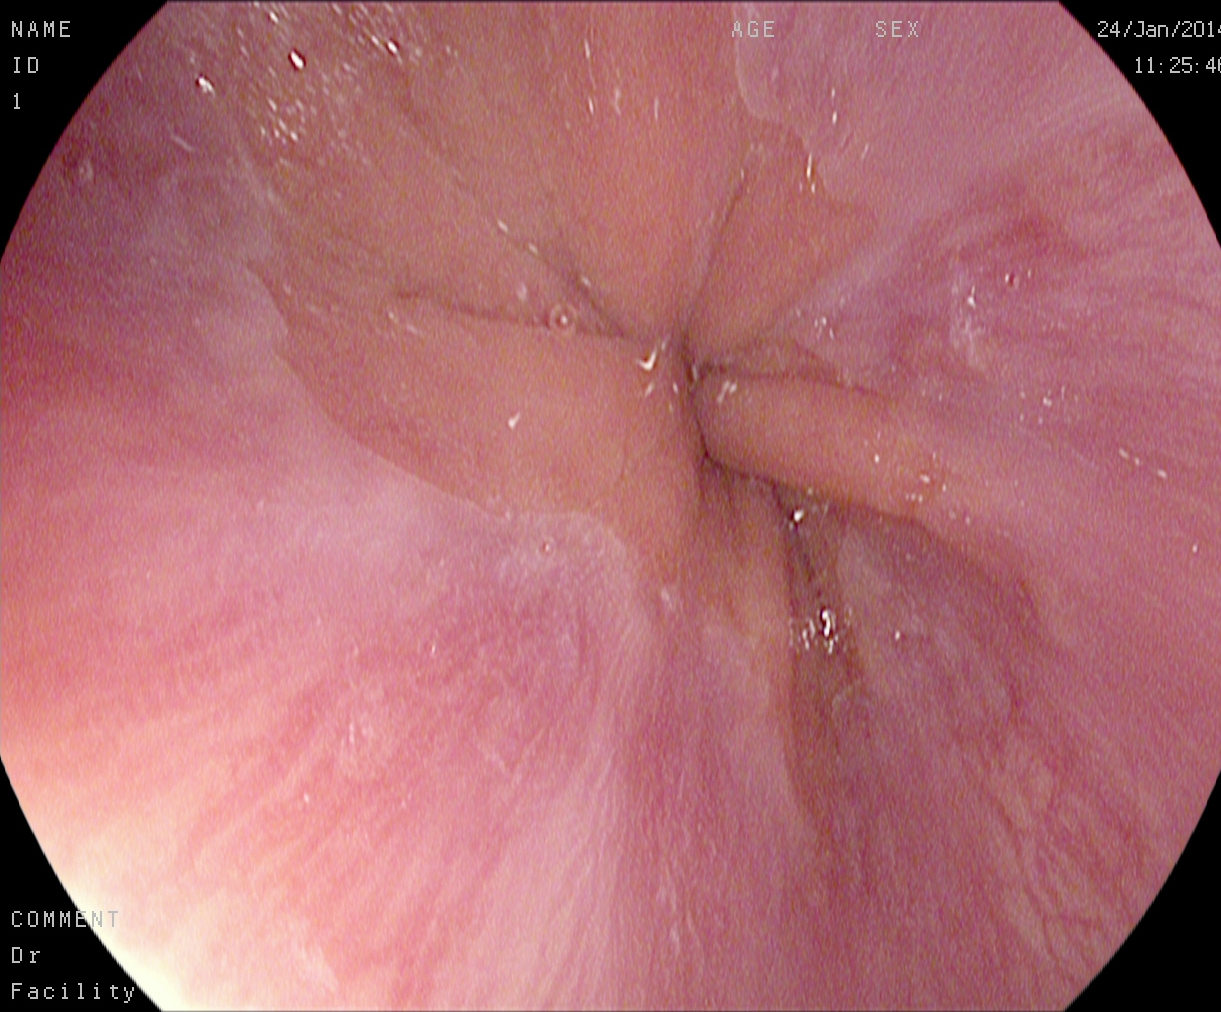PROCEDURE: EGD.
FINDINGS: Z-line (gastroesophageal junction).